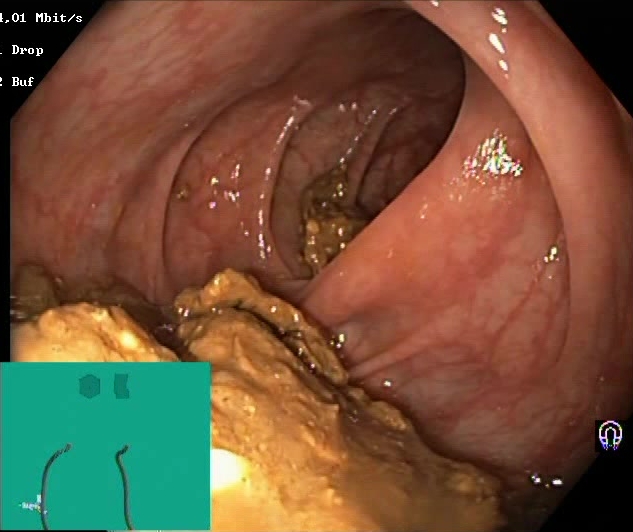BBPS score 0–1 (inadequate preparation).